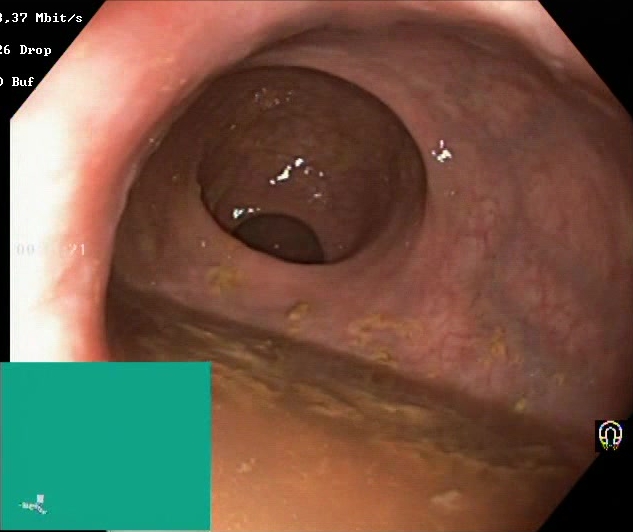modality: lower gastrointestinal endoscopy; category: mucosal-view quality; finding: BBPS score 0–1 (inadequate preparation)